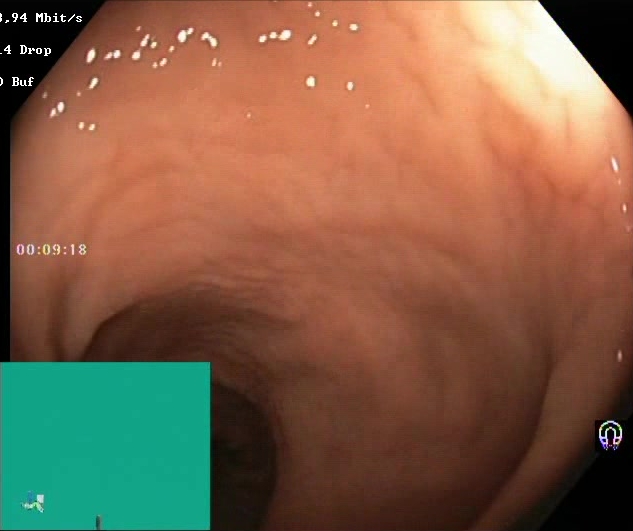Colonoscopy — Boston Bowel Preparation Scale score 2–3 (adequate preparation).